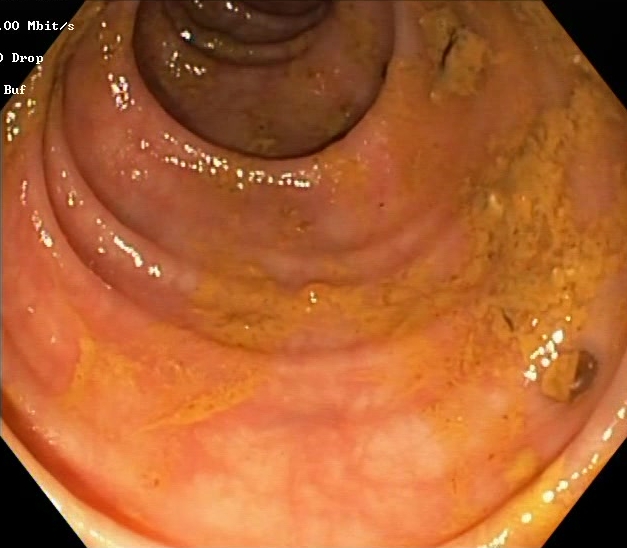PROCEDURE: Lower-GI endoscopy.
FINDINGS: BBPS score 0–1 (inadequate preparation).